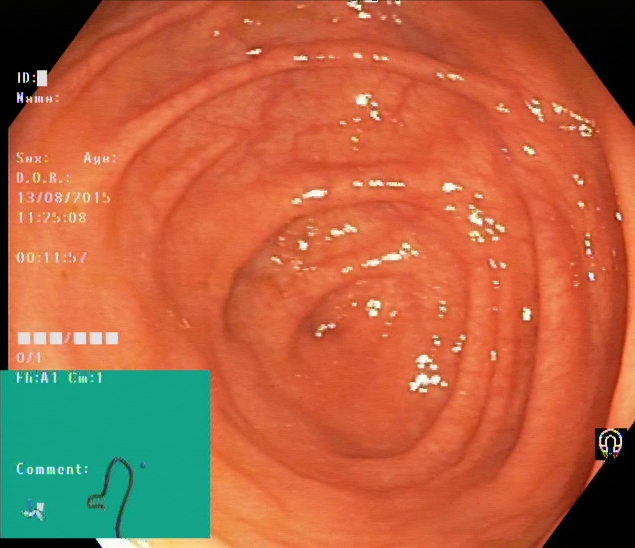modality: lower-GI endoscopy | finding: cecum